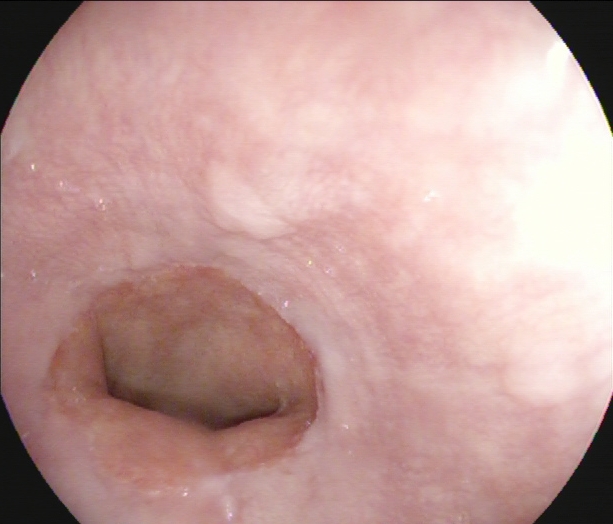Z-line (gastroesophageal junction).